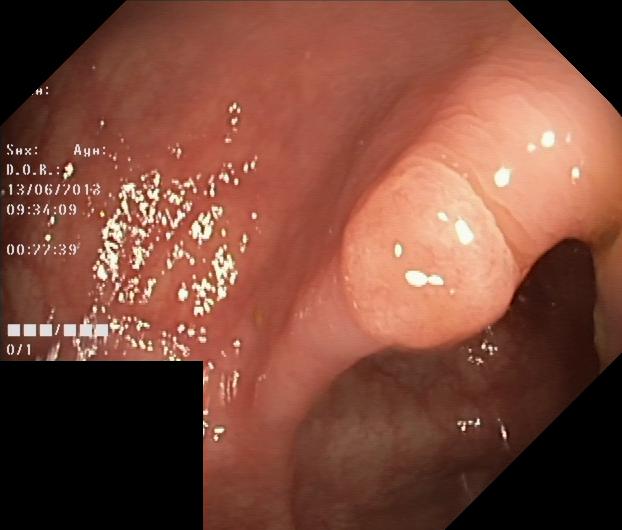{"modality": "lower-GI endoscopy", "tract": "lower GI tract", "finding": "colorectal polyp(s)"}